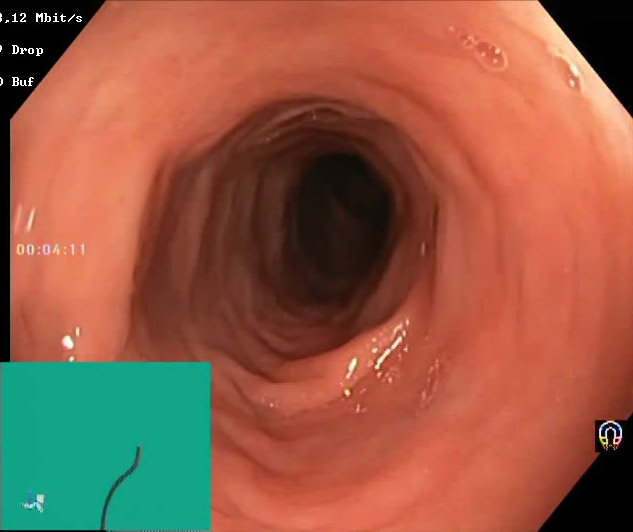modality: lower-GI endoscopy; tract: lower GI tract; category: mucosal-view quality; finding: Boston Bowel Preparation Scale score 2–3 (adequate preparation)